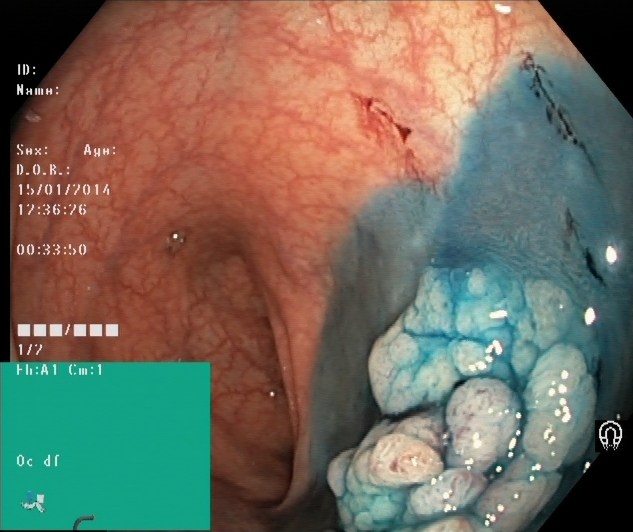modality: colonoscopy; tract: lower GI tract; category: therapeutic intervention; finding: dyed and lifted polyp (pre-resection)